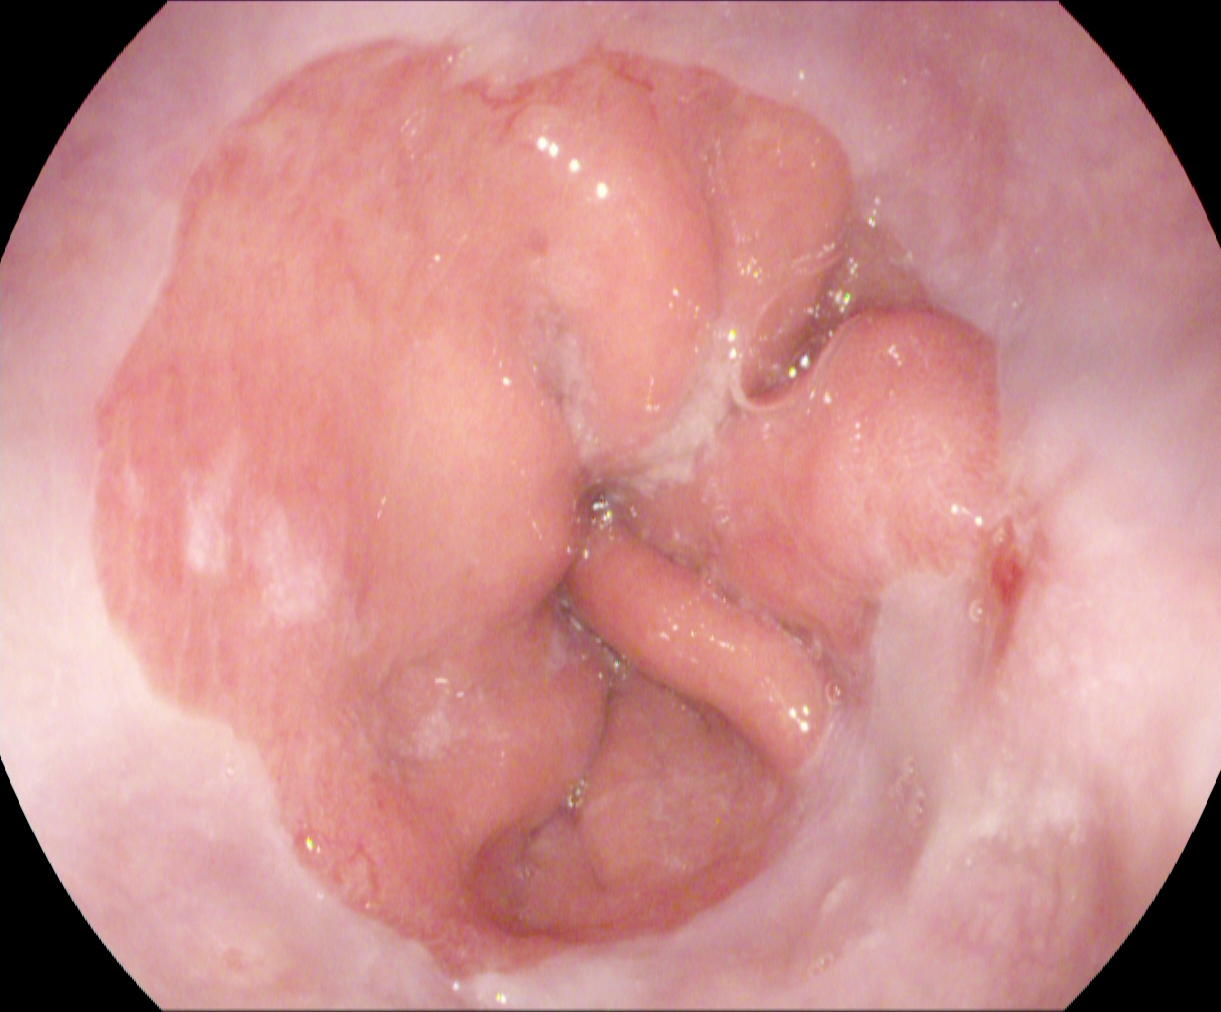Upper-GI endoscopy — reflux esophagitis, LA grade A.